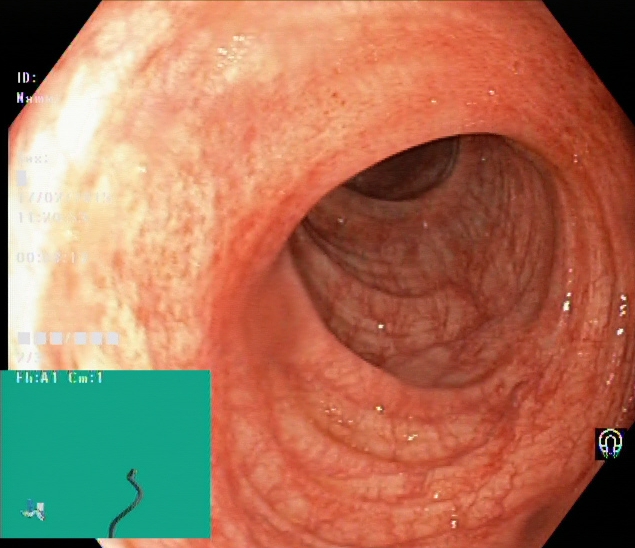UC, Mayo endoscopic subscore 0–1.